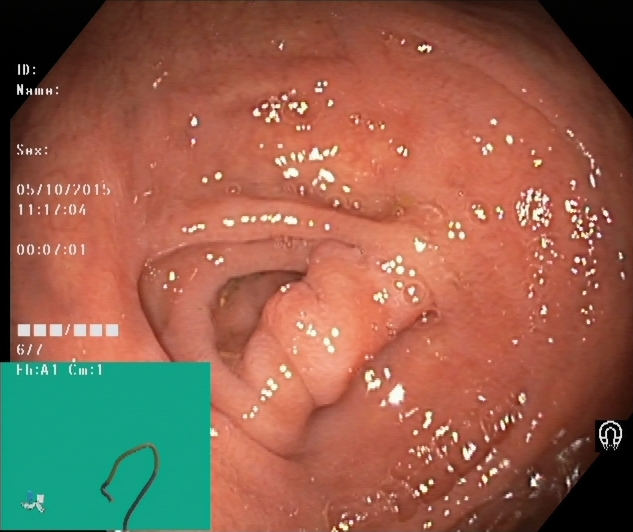This endoscopic image shows cecum.